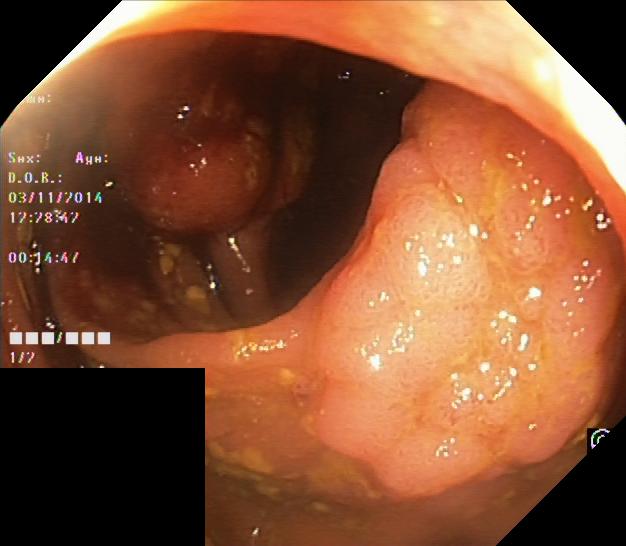Colorectal polyp(s).